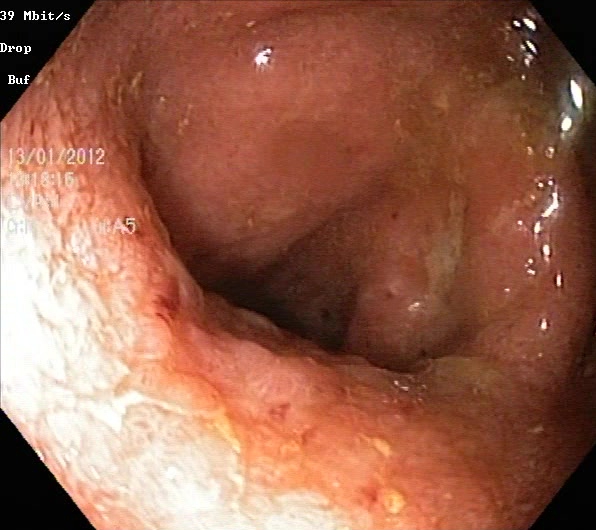modality: lower gastrointestinal endoscopy | finding: ulcerative colitis, Mayo endoscopic subscore 2